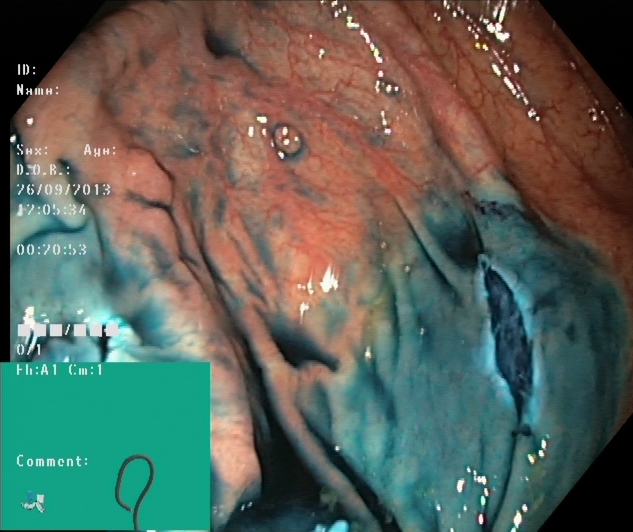{"modality": "lower gastrointestinal endoscopy", "tract": "lower GI tract", "finding": "dyed resection margins (post-polypectomy)"}